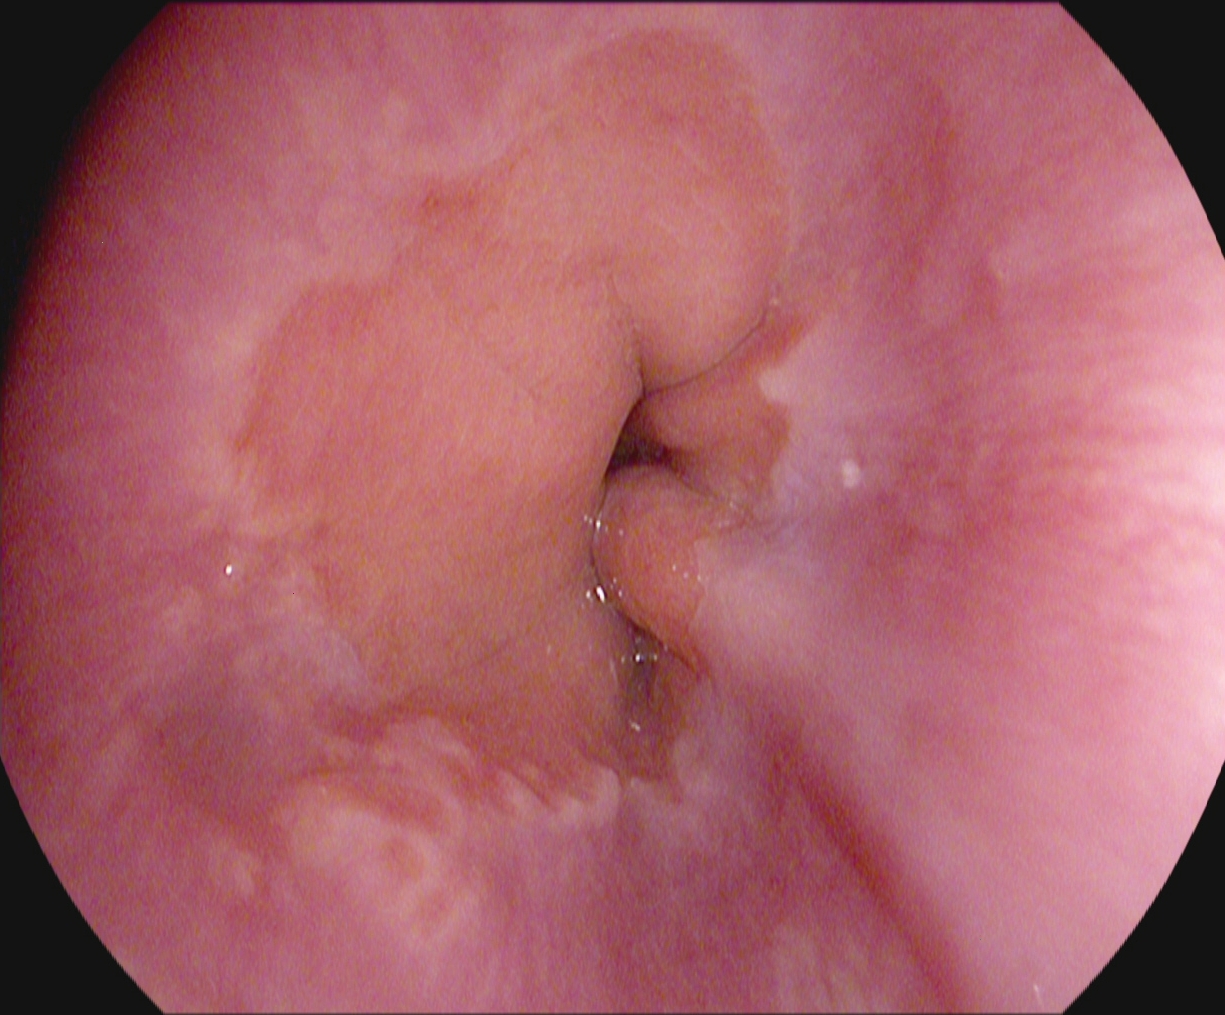This endoscopic image of the upper GI tract shows Z-line (gastroesophageal junction).